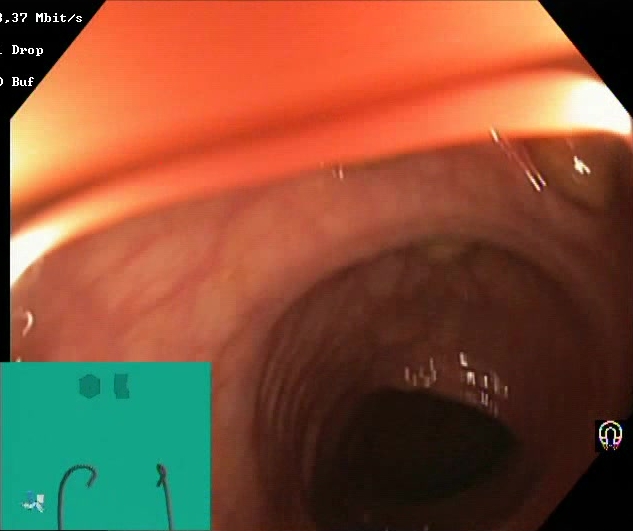modality: colonoscopy
tract: lower GI tract
finding: BBPS score 2–3 (adequate preparation)